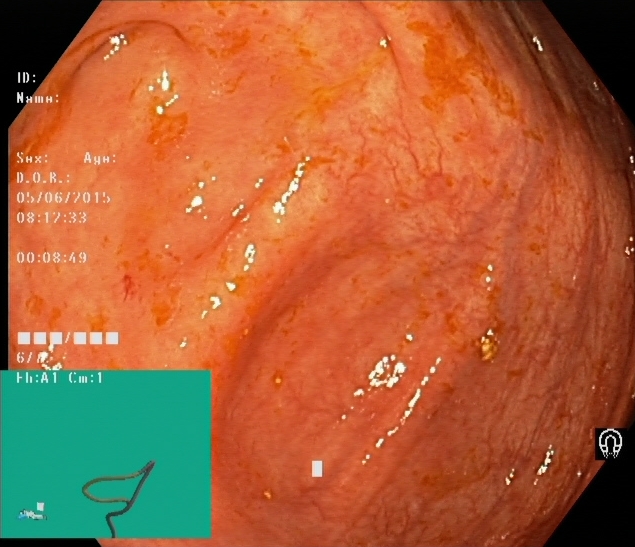modality: colonoscopy | category: anatomical landmark | finding: cecum